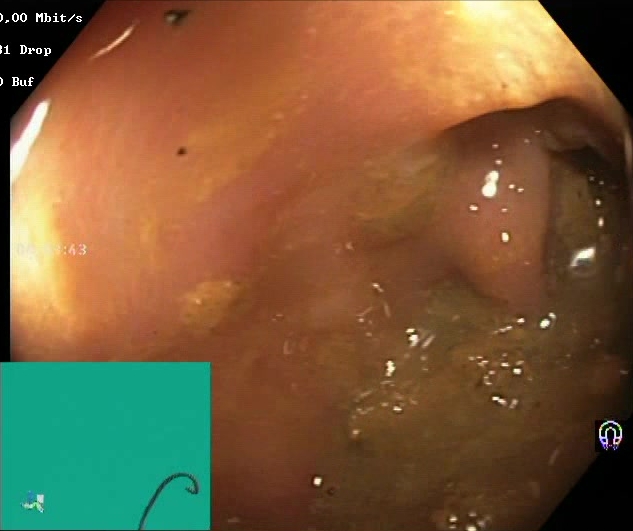{"modality": "colonoscopy", "tract": "lower GI tract", "finding": "Boston Bowel Preparation Scale score 0\u20131 (inadequate preparation)"}